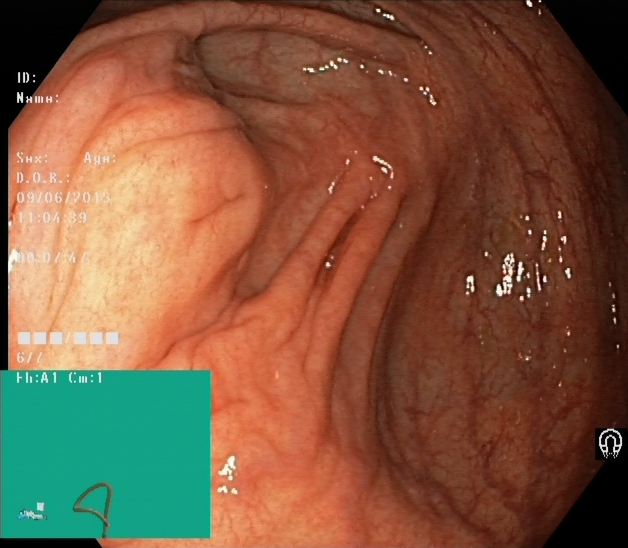Colonoscopy. Tract: lower GI tract. Finding: cecum.